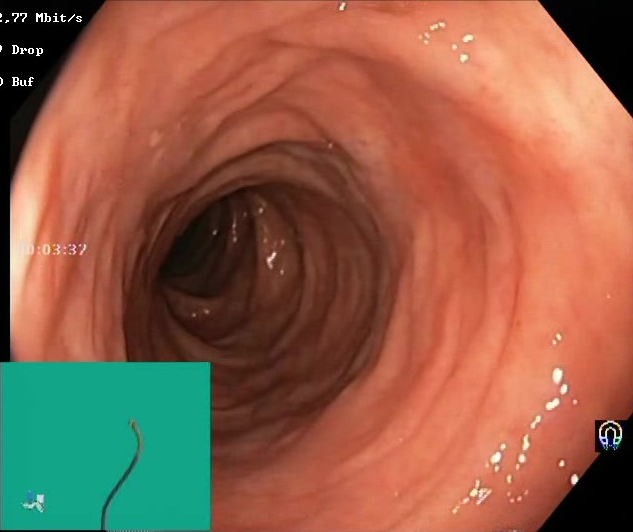{"modality": "lower-GI endoscopy", "tract": "lower GI tract", "category": "mucosal-view quality", "finding": "Boston Bowel Preparation Scale score 2\u20133 (adequate preparation)"}